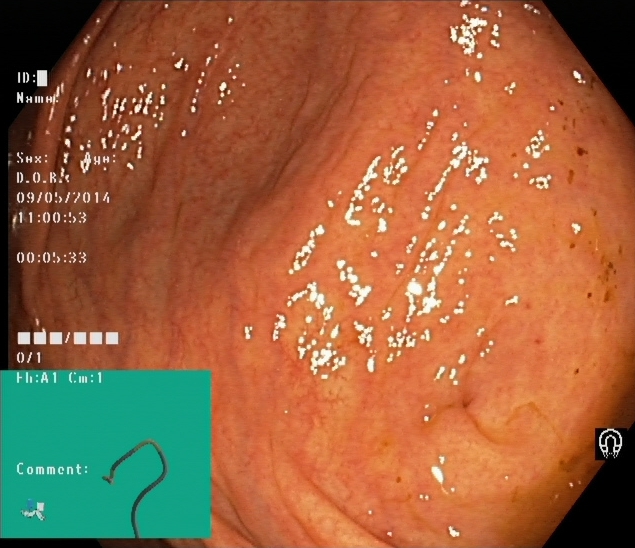Lower gastrointestinal endoscopy. Tract: lower GI tract. Finding: cecum.